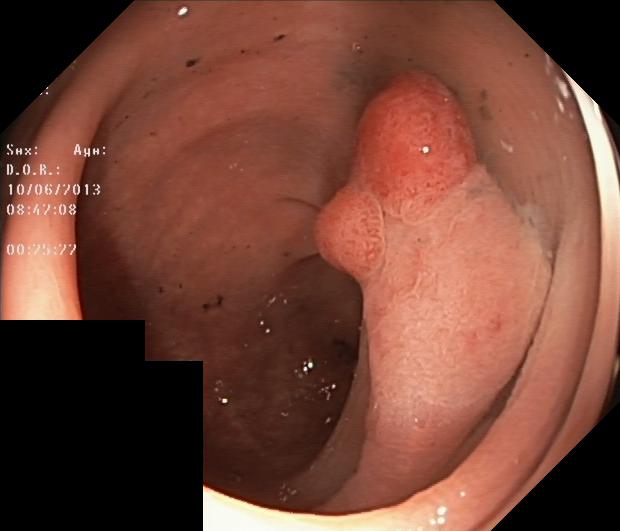PROCEDURE: Lower gastrointestinal endoscopy.
FINDINGS: Colorectal polyp(s).